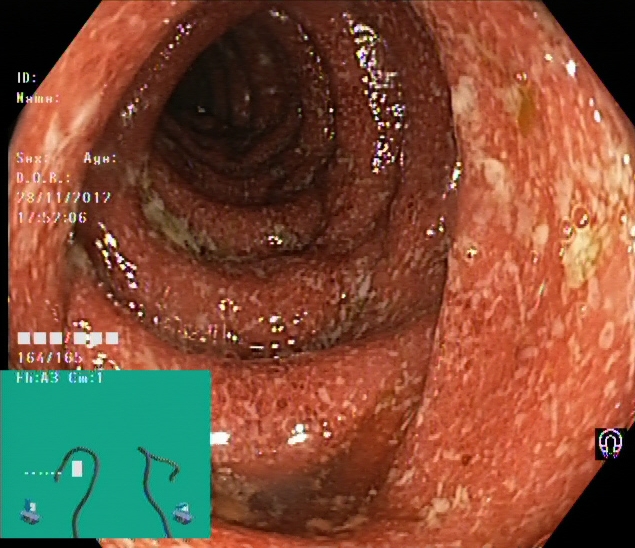Lower-GI endoscopy image showing ulcerative colitis, Mayo endoscopic subscore 2.